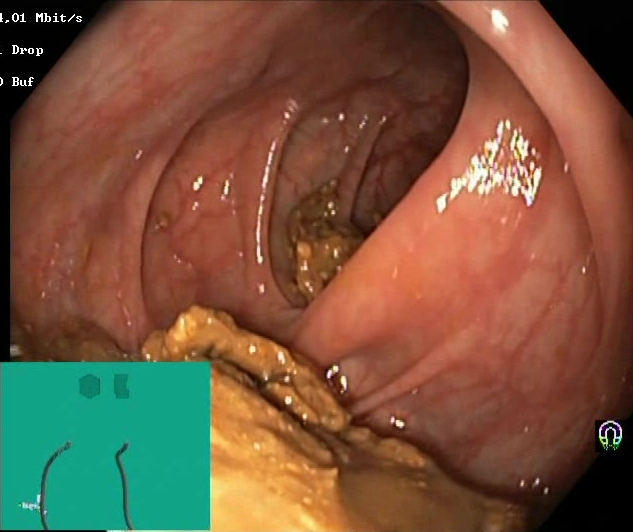{"modality": "lower gastrointestinal endoscopy", "finding": "Boston Bowel Preparation Scale score 0\u20131 (inadequate preparation)"}